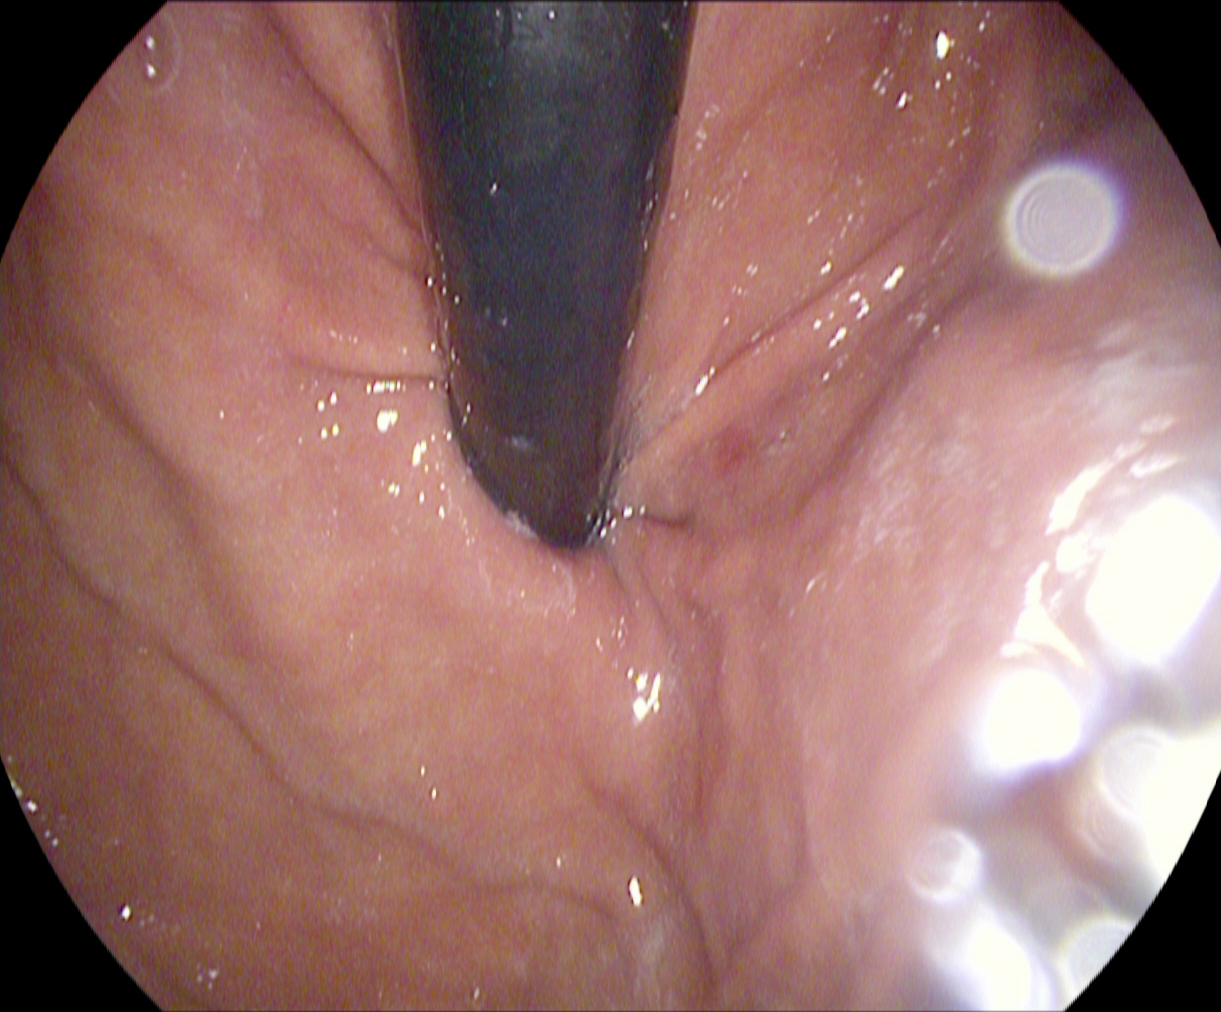This endoscopy frame shows stomach in retroflexion.